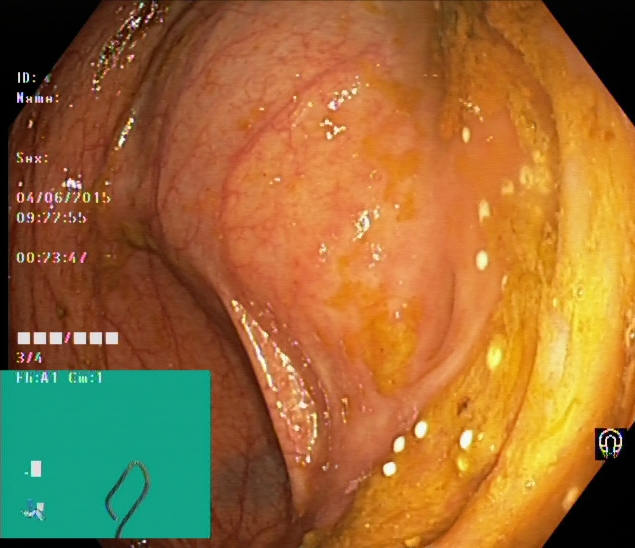Cecum.